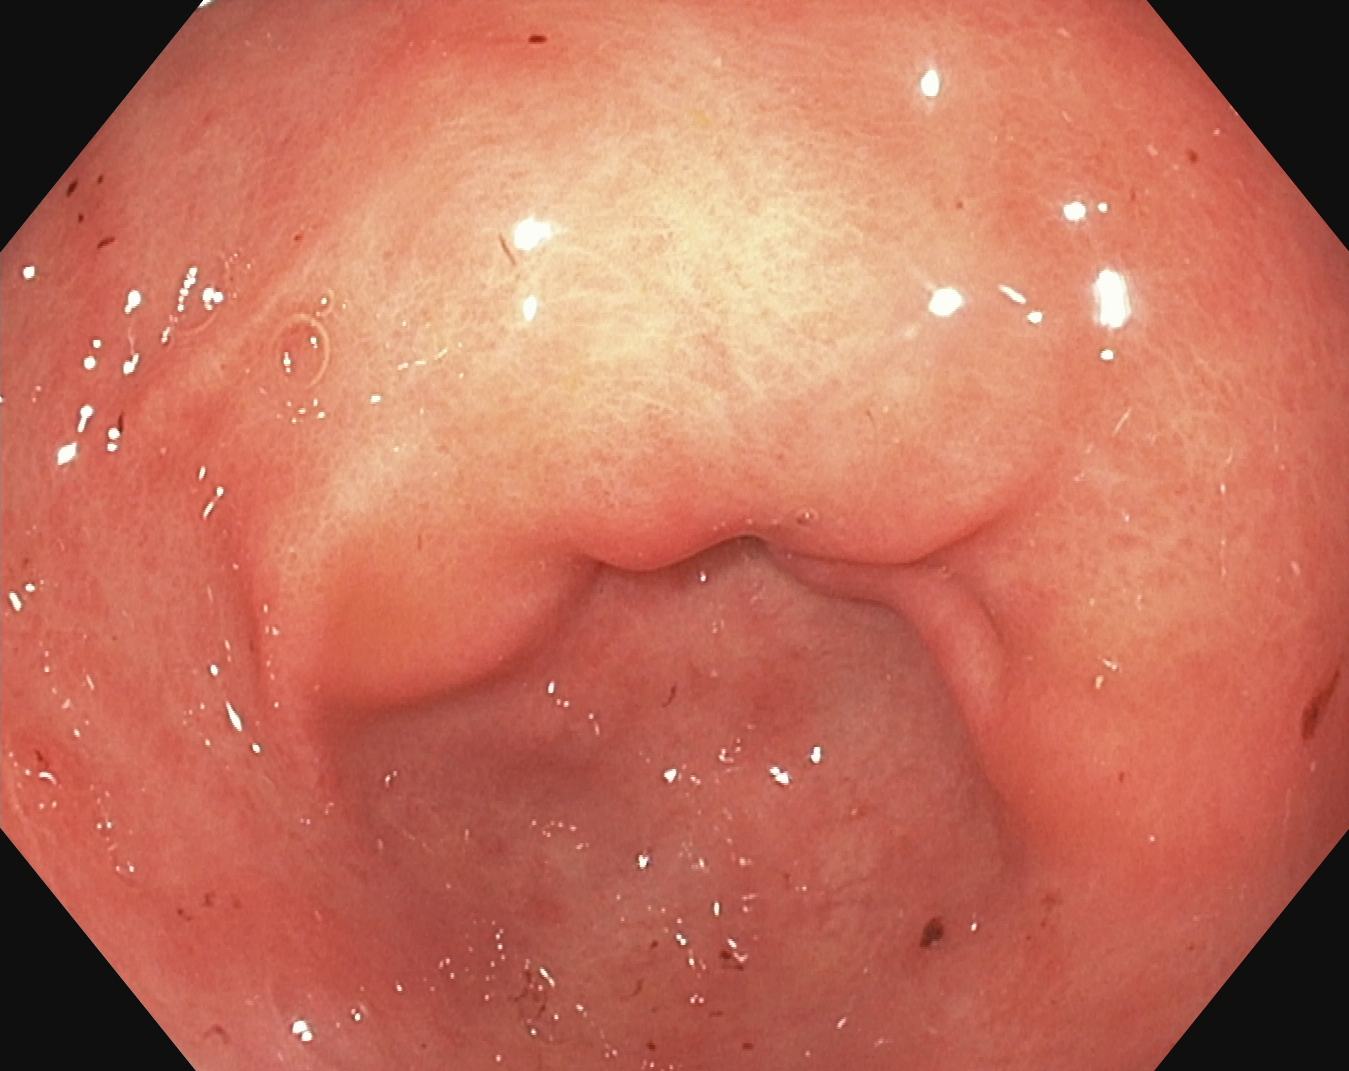PROCEDURE: Upper-GI endoscopy.
FINDINGS: Pylorus.